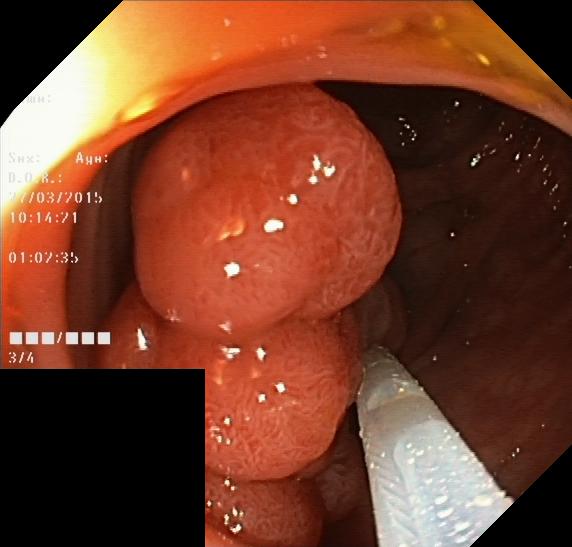Colonoscopy — colorectal polyp(s).